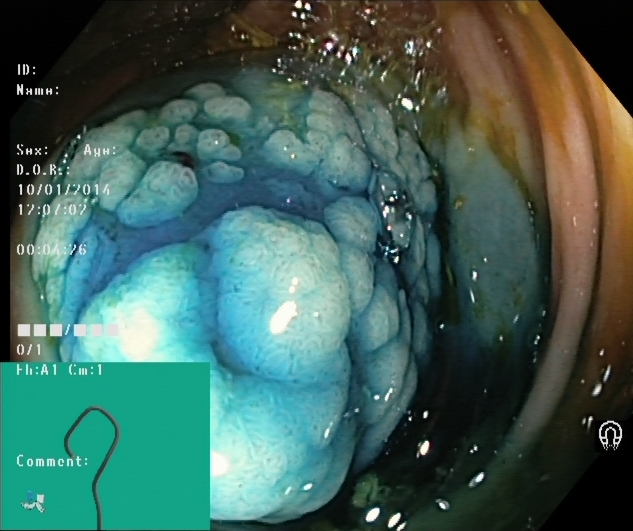{"modality": "lower gastrointestinal endoscopy", "finding": "dyed and lifted polyp (pre-resection)"}